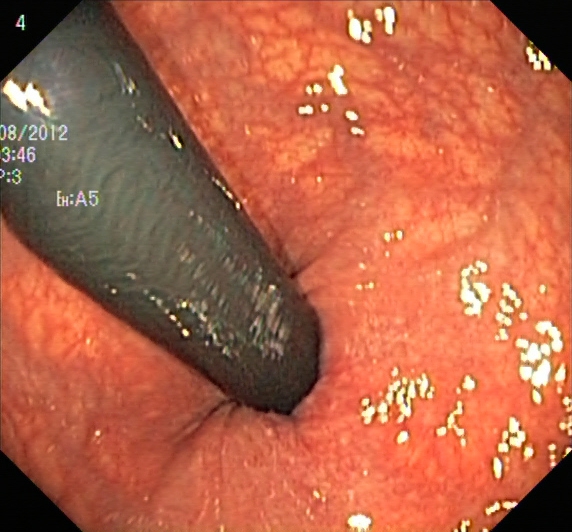modality: colonoscopy | tract: lower GI tract | category: anatomical landmark | finding: rectum in retroflexion